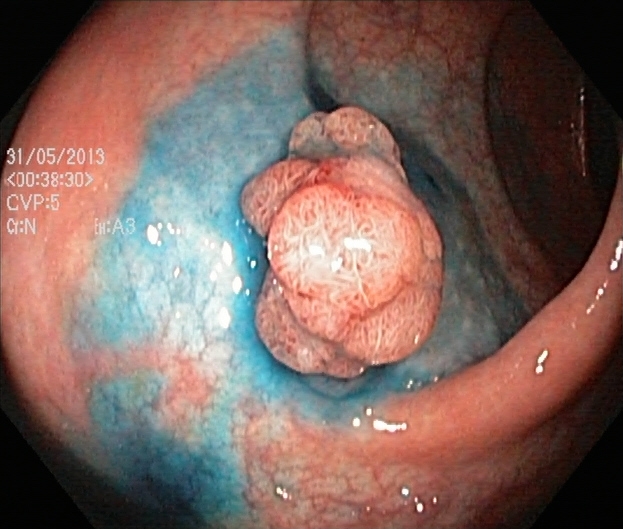modality: lower gastrointestinal endoscopy | finding: dyed and lifted polyp (pre-resection)